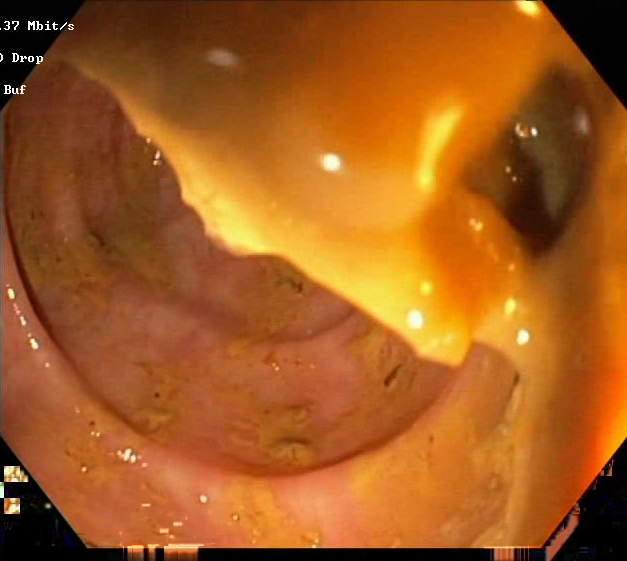Boston Bowel Preparation Scale score 0–1 (inadequate preparation).